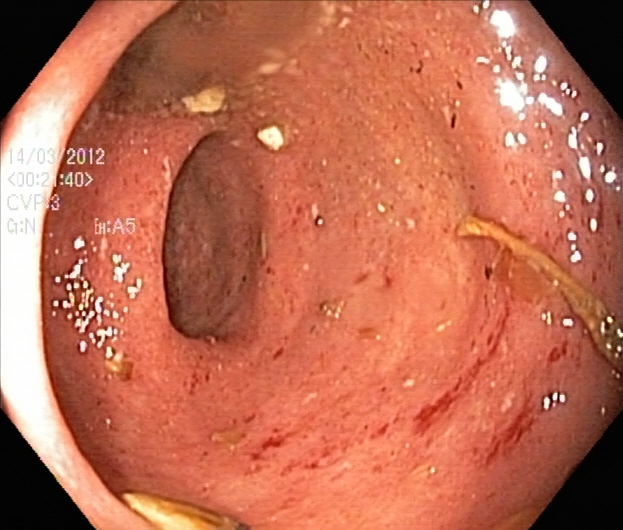Ulcerative colitis, Mayo endoscopic subscore 2.